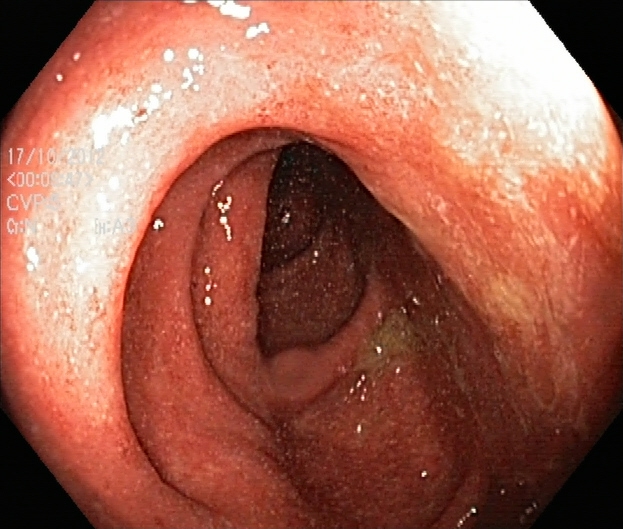This endoscopy frame shows ulcerative colitis, Mayo endoscopic subscore 2.